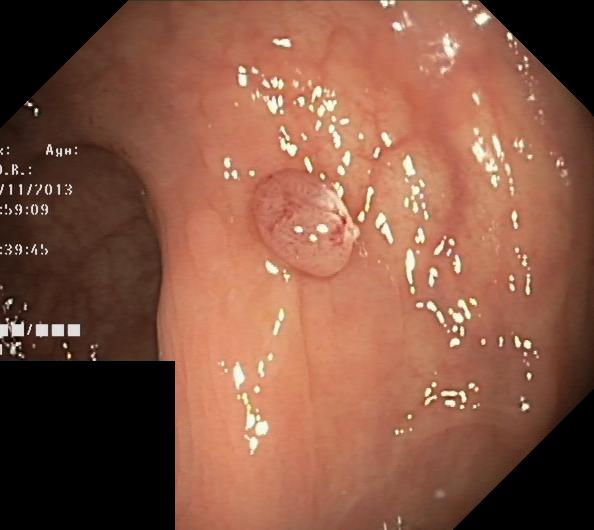modality: colonoscopy
tract: lower GI tract
finding: colorectal polyp(s)